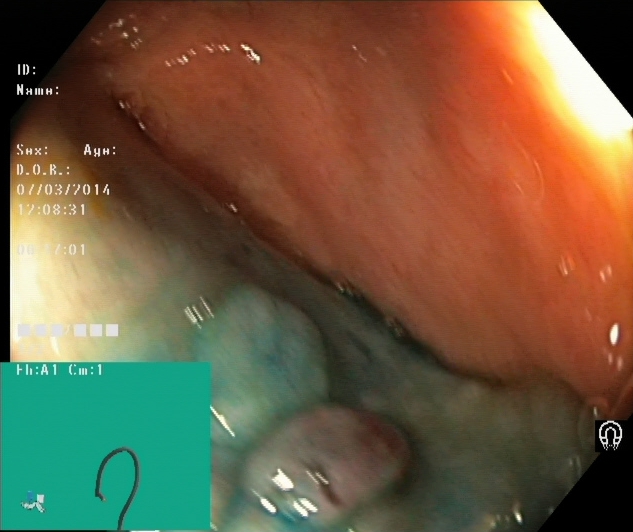dyed and lifted polyp (pre-resection).